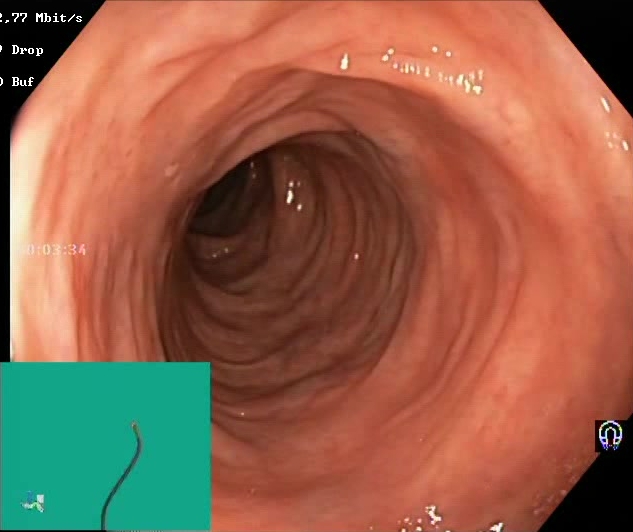{"modality": "colonoscopy", "finding": "Boston Bowel Preparation Scale score 2\u20133 (adequate preparation)"}